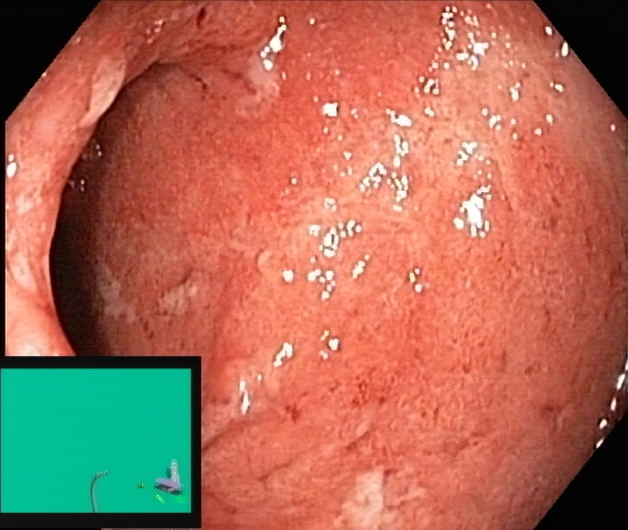Endoscopy image of the lower GI tract showing ulcerative colitis, Mayo endoscopic subscore 2.